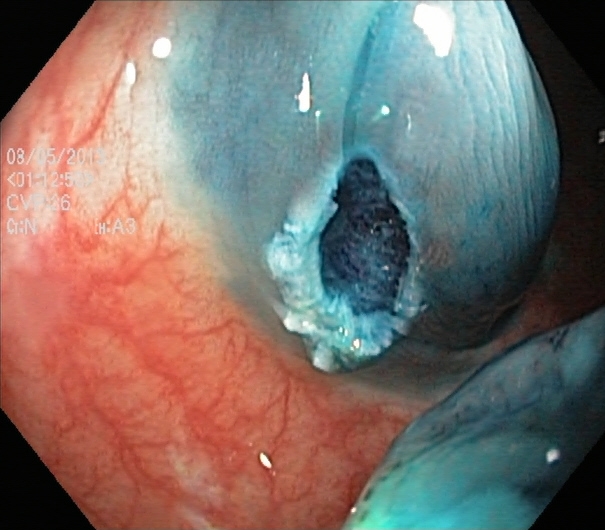Lower-GI endoscopy — dyed resection margins (post-polypectomy).